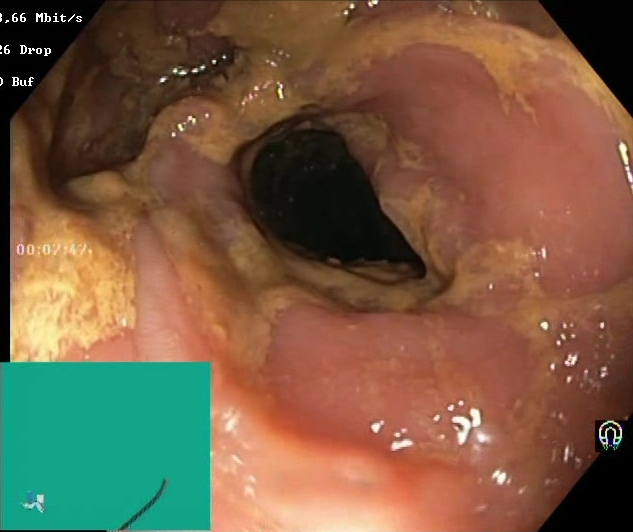This endoscopic image shows Boston Bowel Preparation Scale score 0–1 (inadequate preparation).